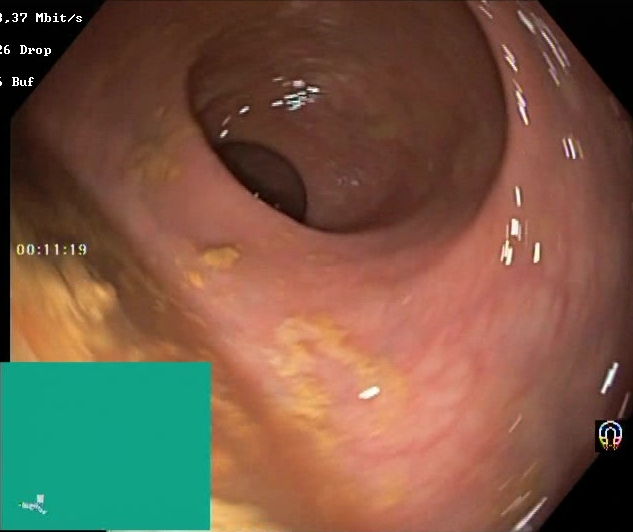Boston Bowel Preparation Scale score 0–1 (inadequate preparation).